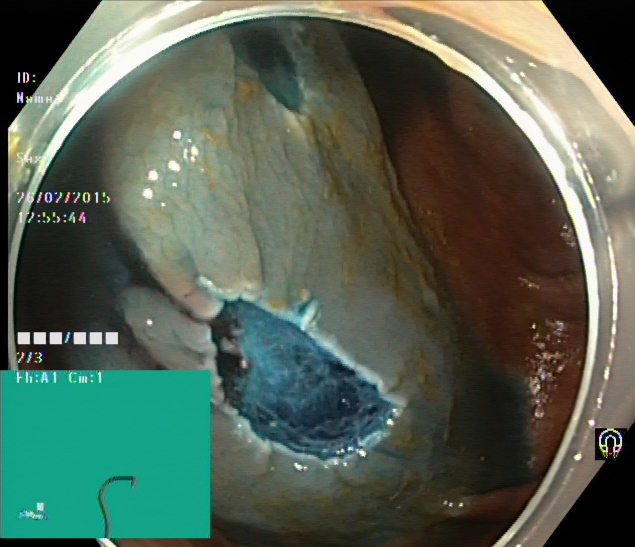Lower-GI endoscopy. Finding: dyed resection margins (post-polypectomy).